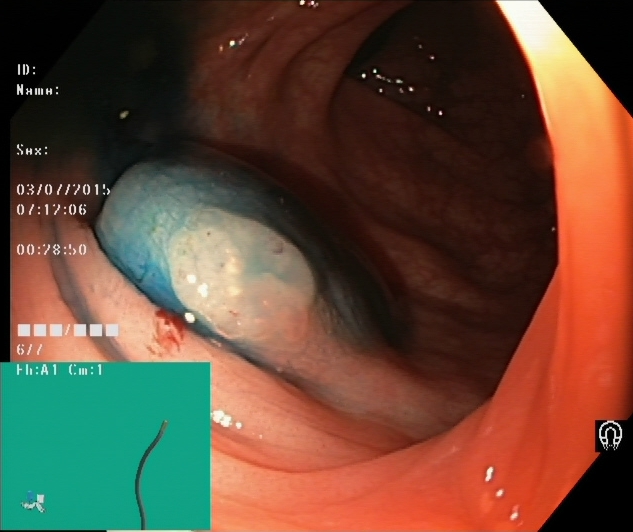Colonoscopy image showing dyed and lifted polyp (pre-resection).